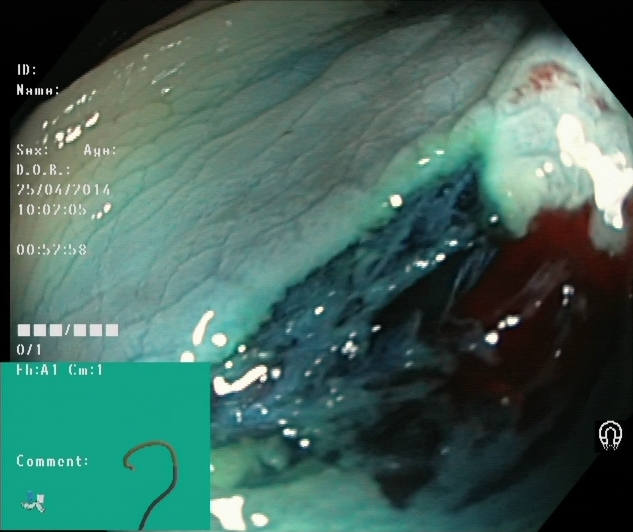{"modality": "lower-GI endoscopy", "tract": "lower GI tract", "finding": "dyed resection margins (post-polypectomy)"}